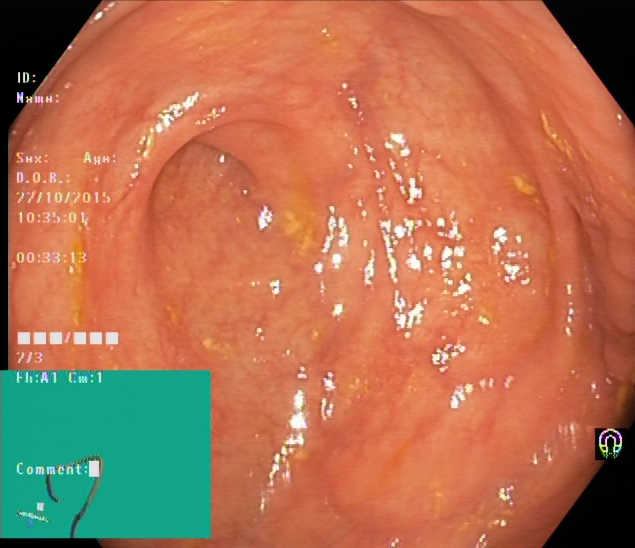Colonoscopy. Tract: lower GI tract. Anatomical landmark. Finding: cecum.